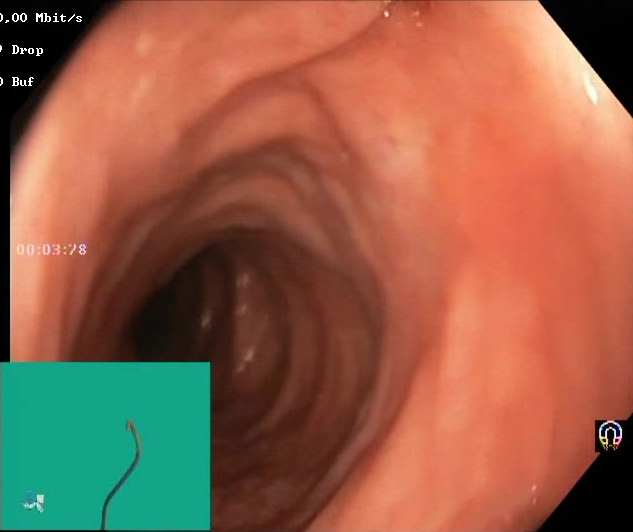{"modality": "lower-GI endoscopy", "tract": "lower GI tract", "finding": "Boston Bowel Preparation Scale score 2\u20133 (adequate preparation)"}